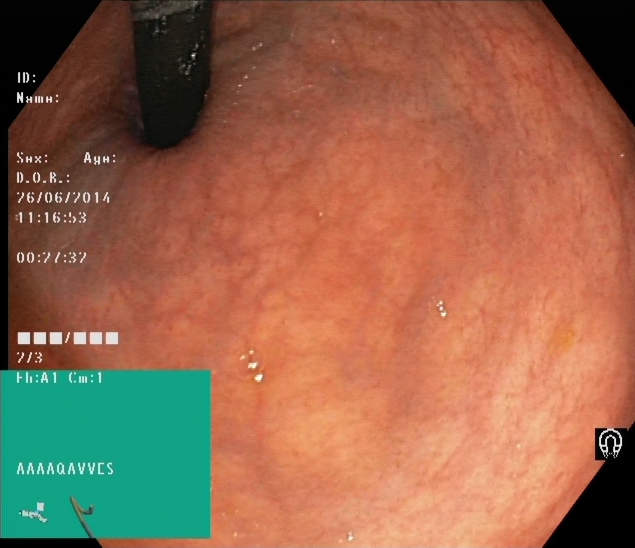{"modality": "colonoscopy", "tract": "lower GI tract", "finding": "rectum in retroflexion"}